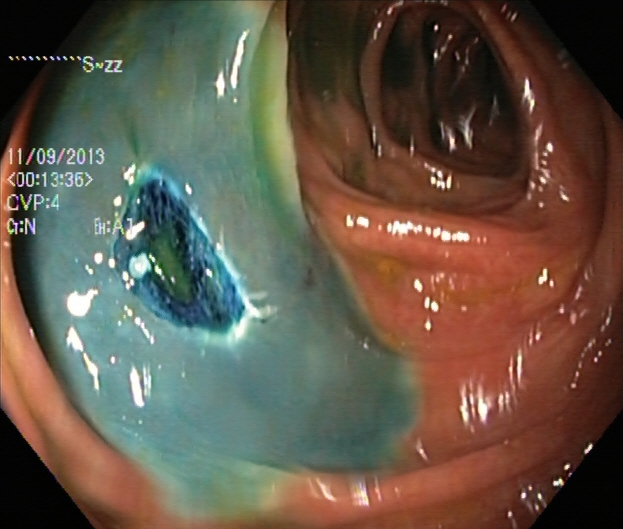Dyed resection margins (post-polypectomy).